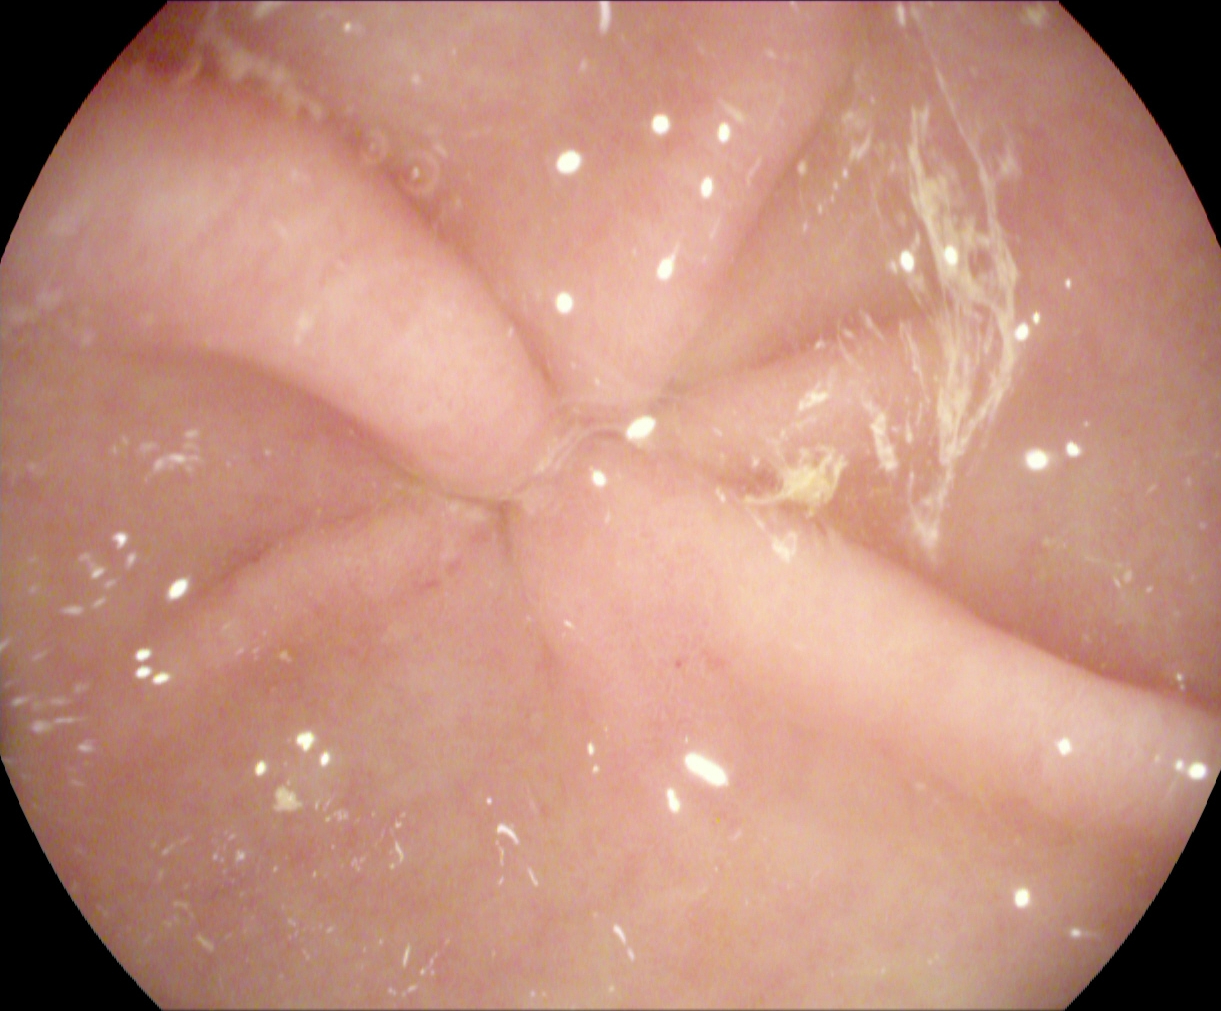Pylorus.